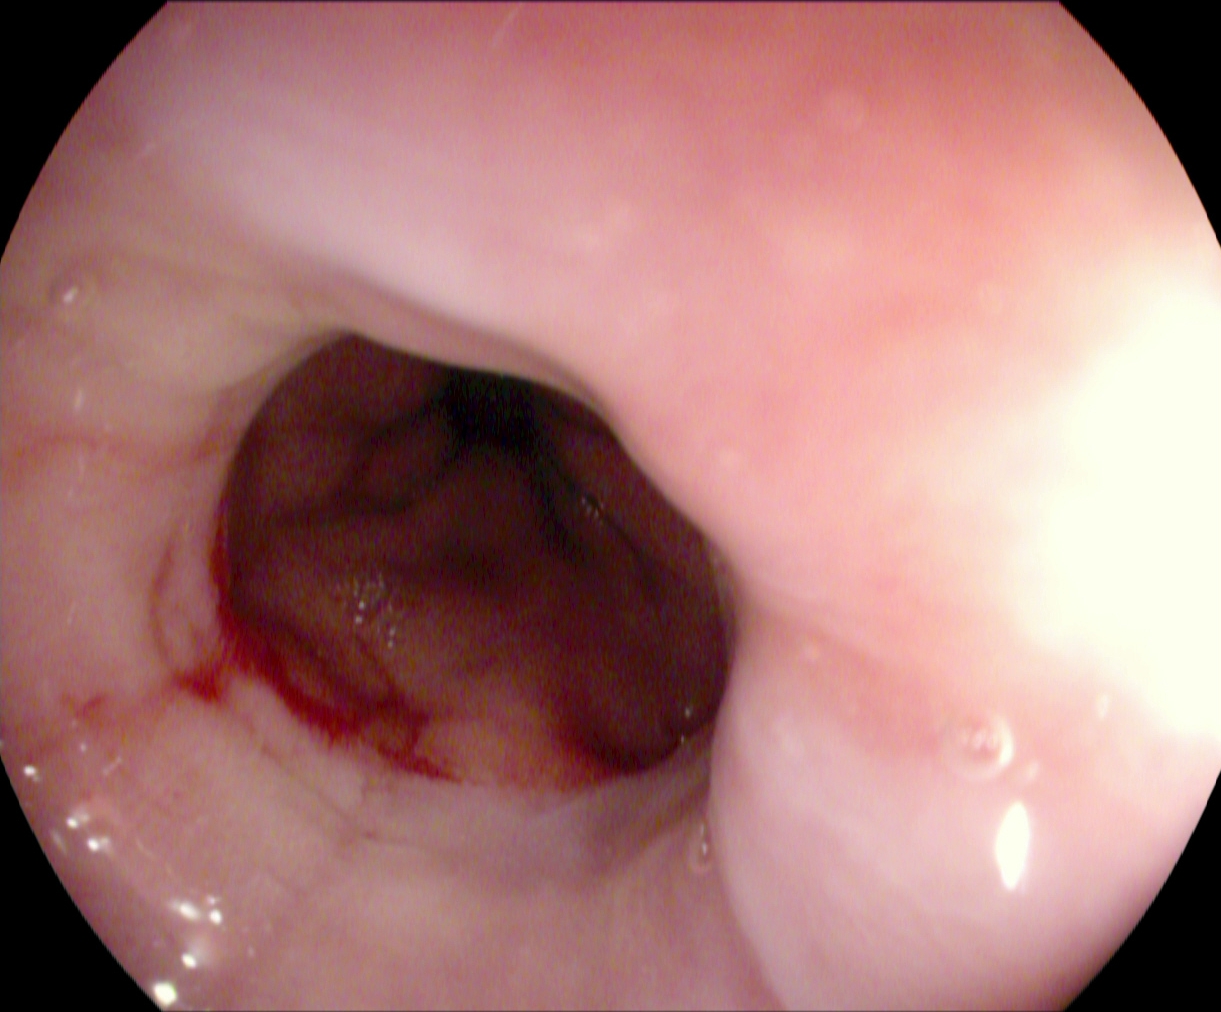EGD. Anatomical landmark. Finding: Z-line (gastroesophageal junction).